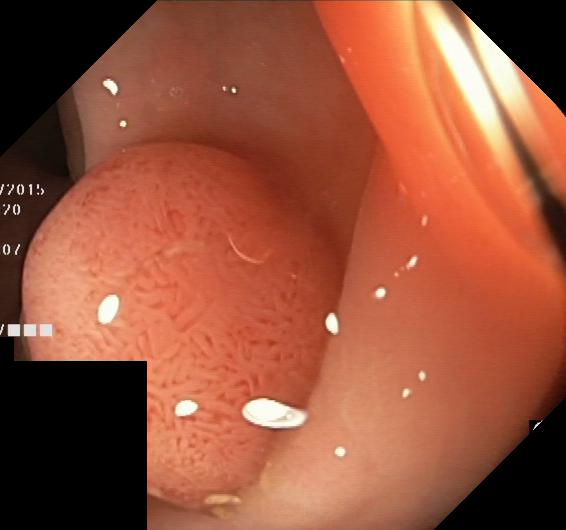{"modality": "colonoscopy", "finding": "colorectal polyp(s)"}